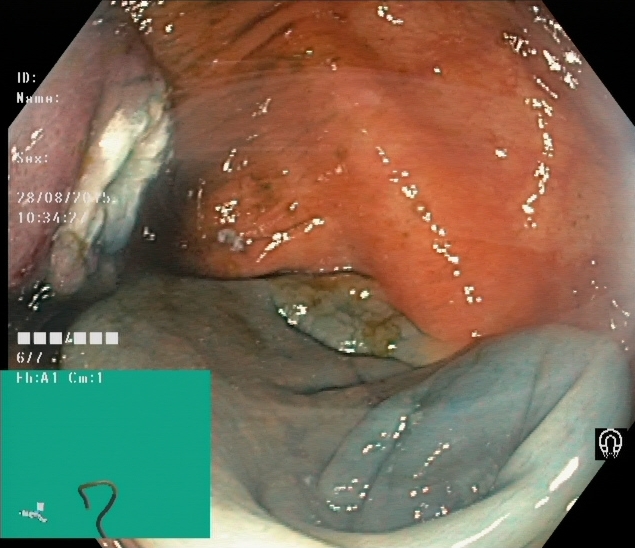{"modality": "lower-GI endoscopy", "tract": "lower GI tract", "finding": "dyed resection margins (post-polypectomy)"}